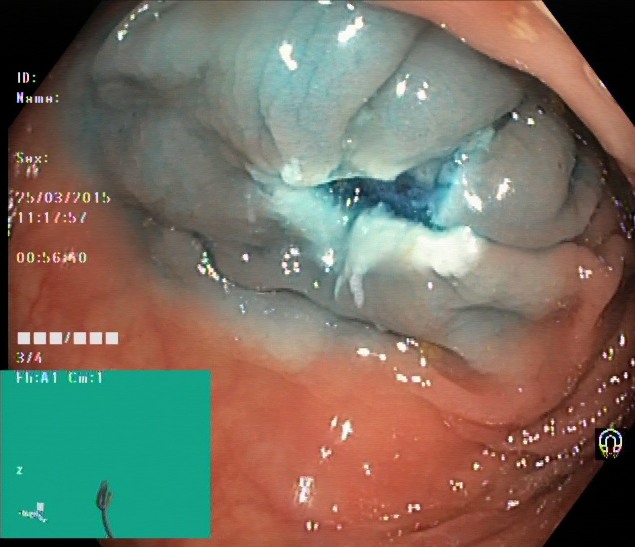PROCEDURE: Lower-GI endoscopy.
CATEGORY: Therapeutic intervention.
FINDINGS: Dyed resection margins (post-polypectomy).